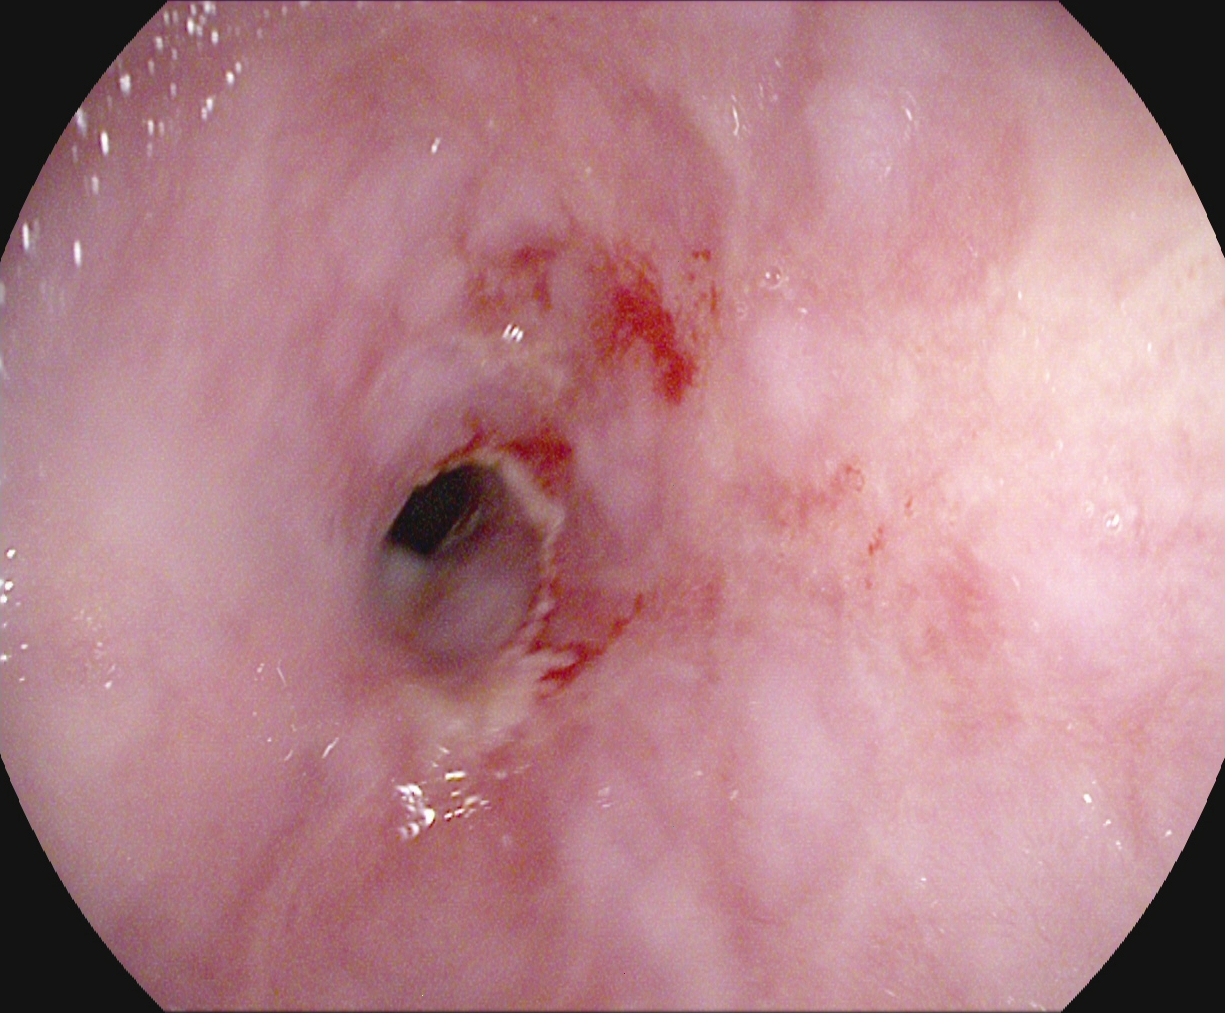Esophagogastroduodenoscopy. Pathological finding. Finding: reflux esophagitis, Los Angeles grade B–D.